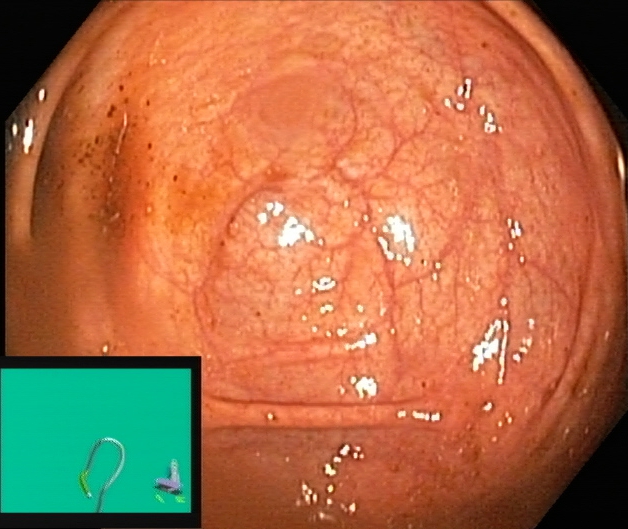This endoscopic image shows cecum.